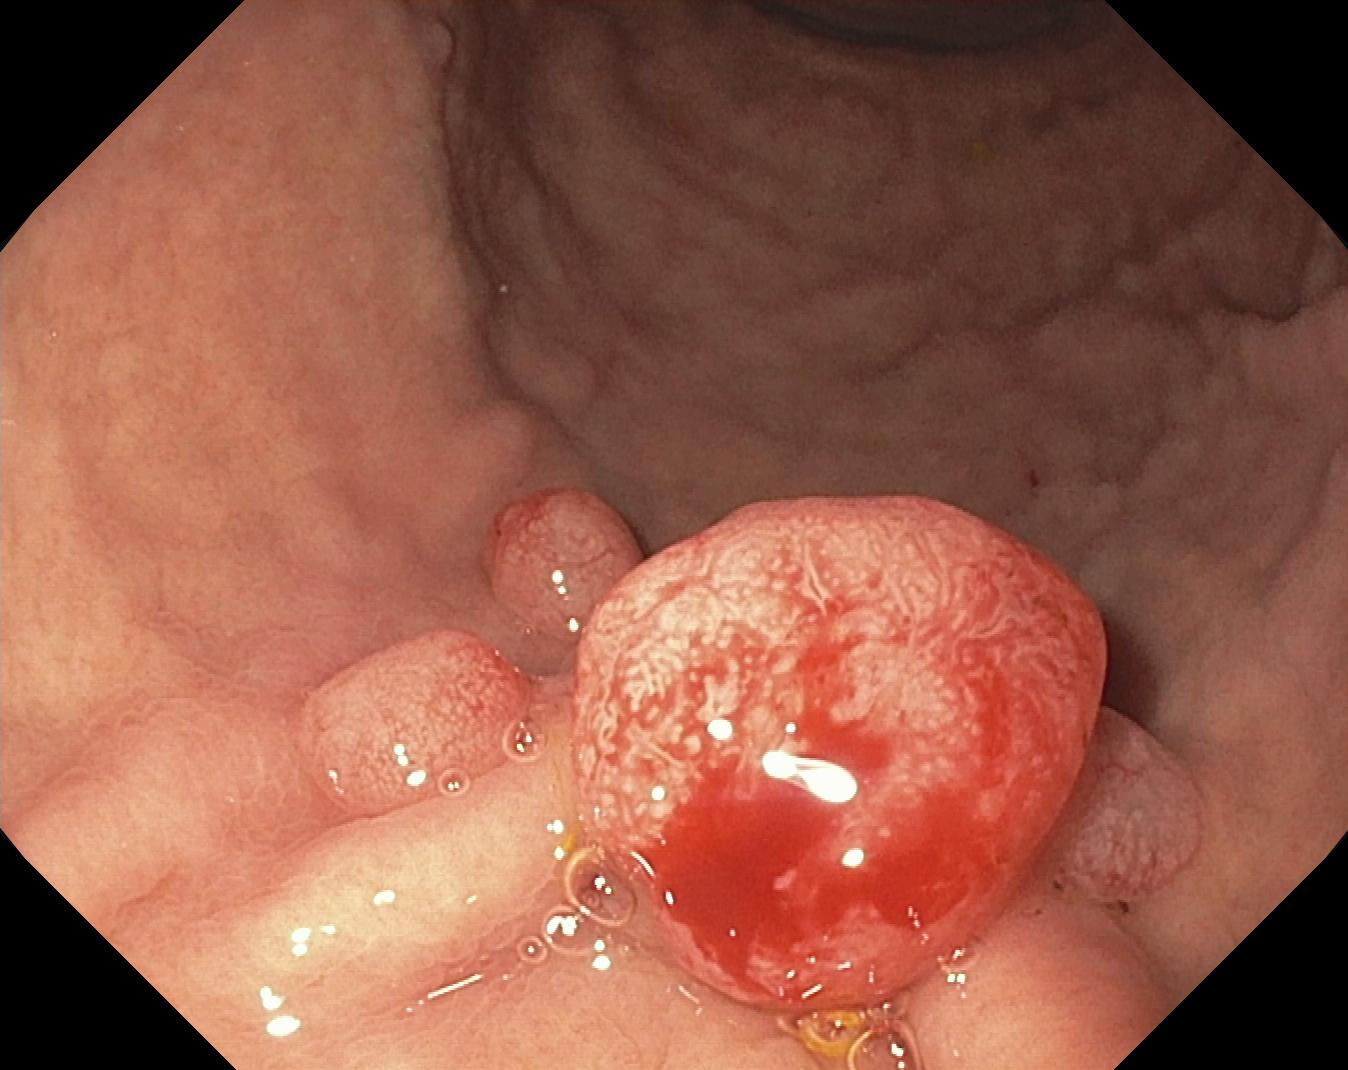Gastrointestinal endoscopy image of the lower GI tract showing colorectal polyp(s).